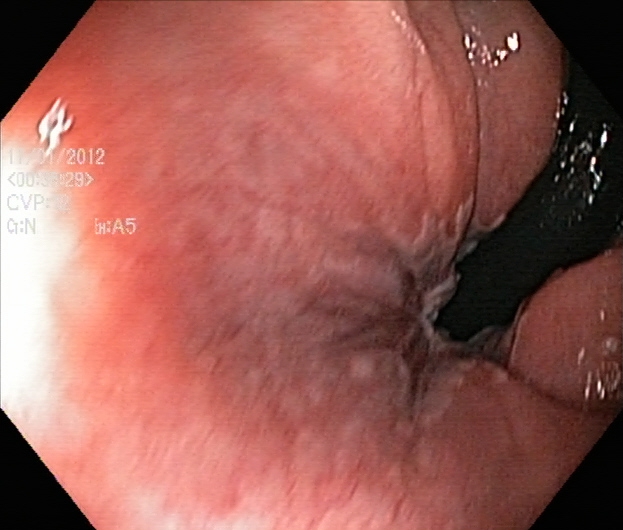modality: lower-GI endoscopy | finding: rectum in retroflexion